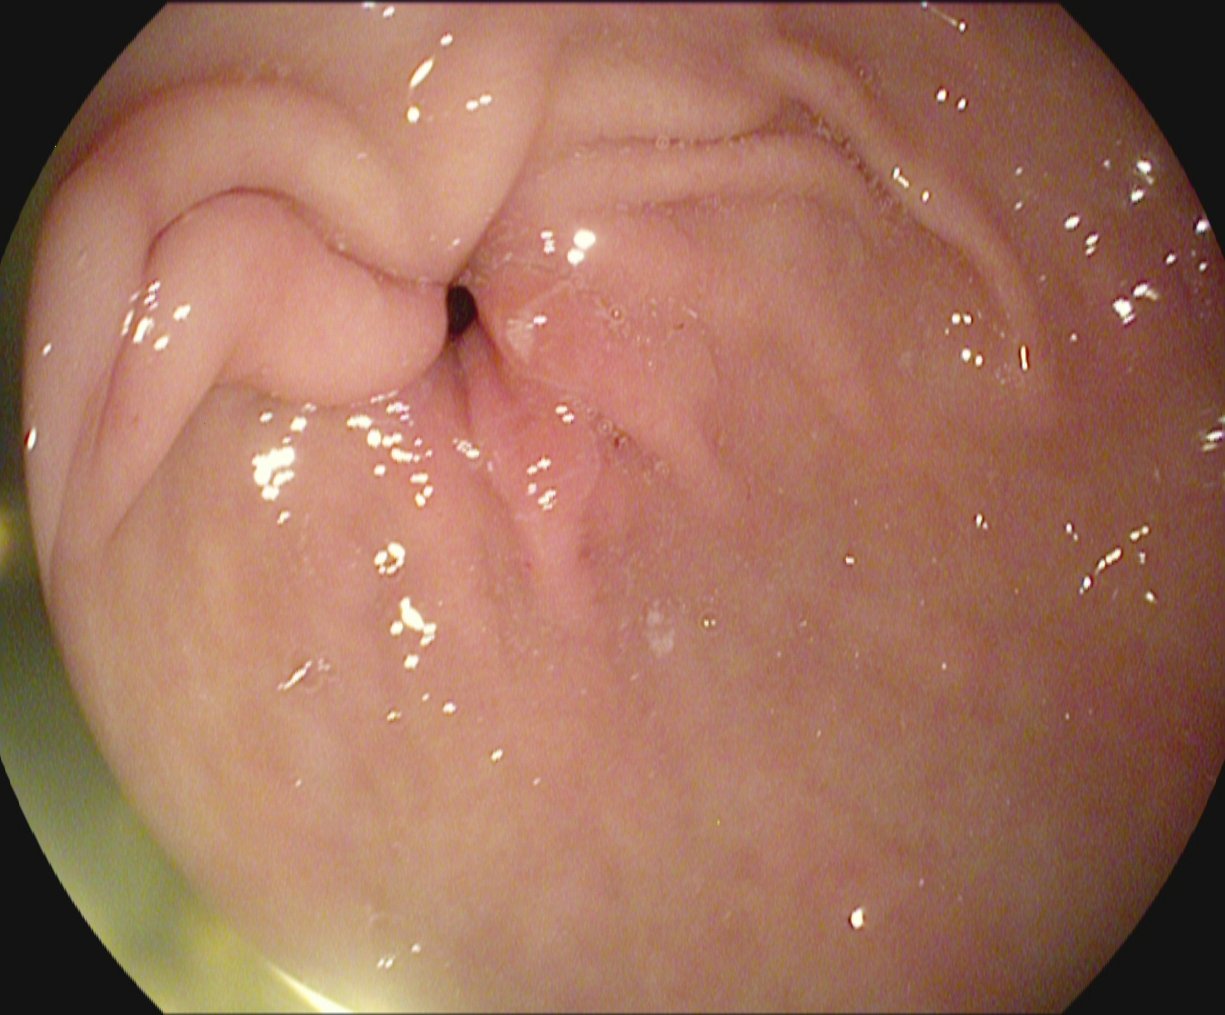{"modality": "upper-GI endoscopy", "tract": "upper GI tract", "category": "anatomical landmark", "finding": "pylorus"}